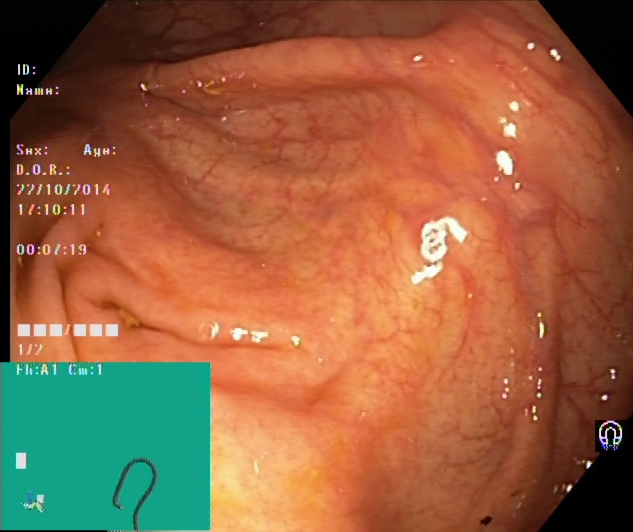Lower gastrointestinal endoscopy. Tract: lower GI tract. Finding: cecum.